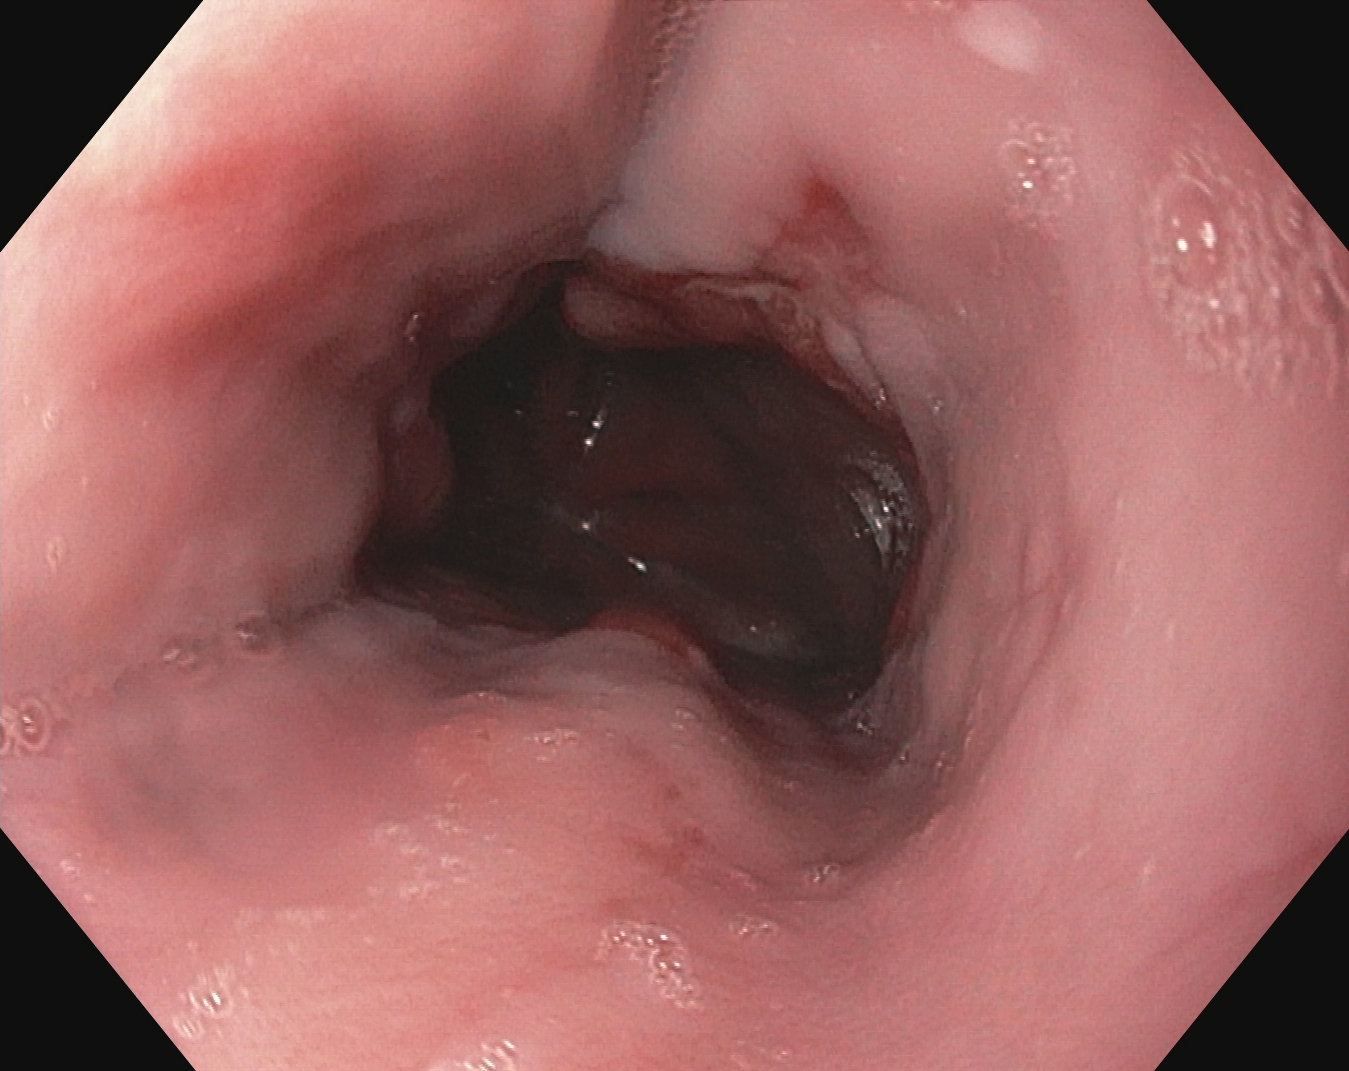This endoscopic image of the upper GI tract shows reflux esophagitis, Los Angeles grade A.